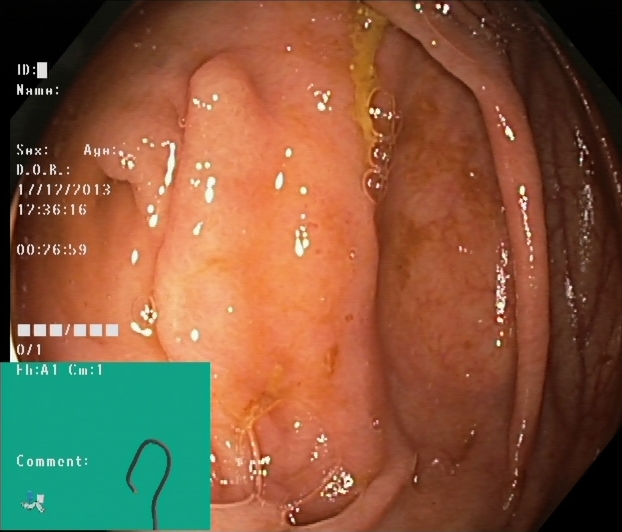Cecum.